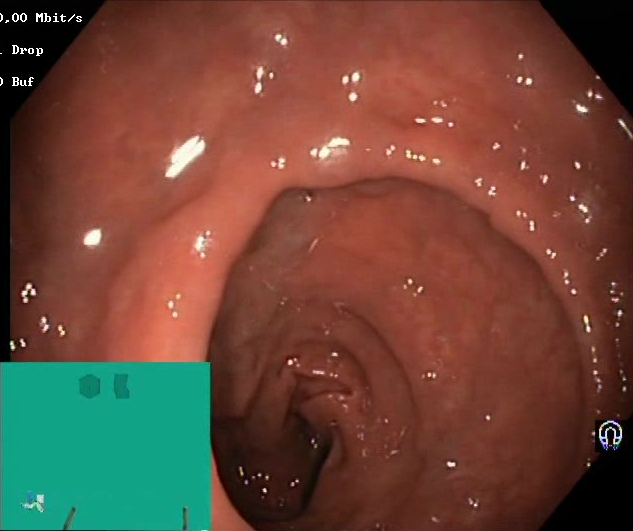This endoscopy frame of the lower GI tract shows Boston Bowel Preparation Scale score 2–3 (adequate preparation).